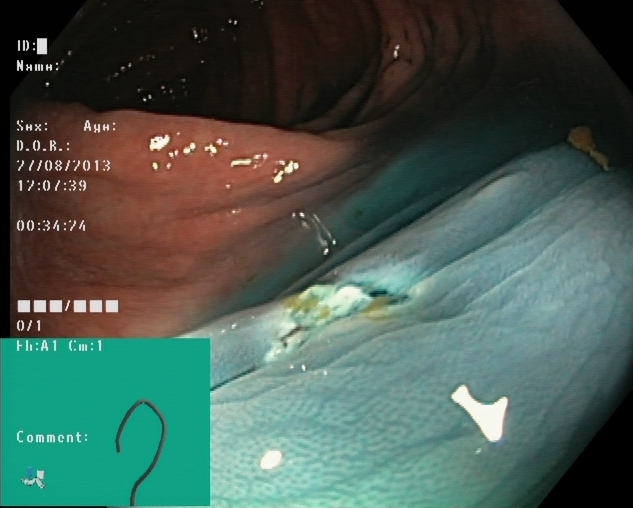Dyed resection margins (post-polypectomy).